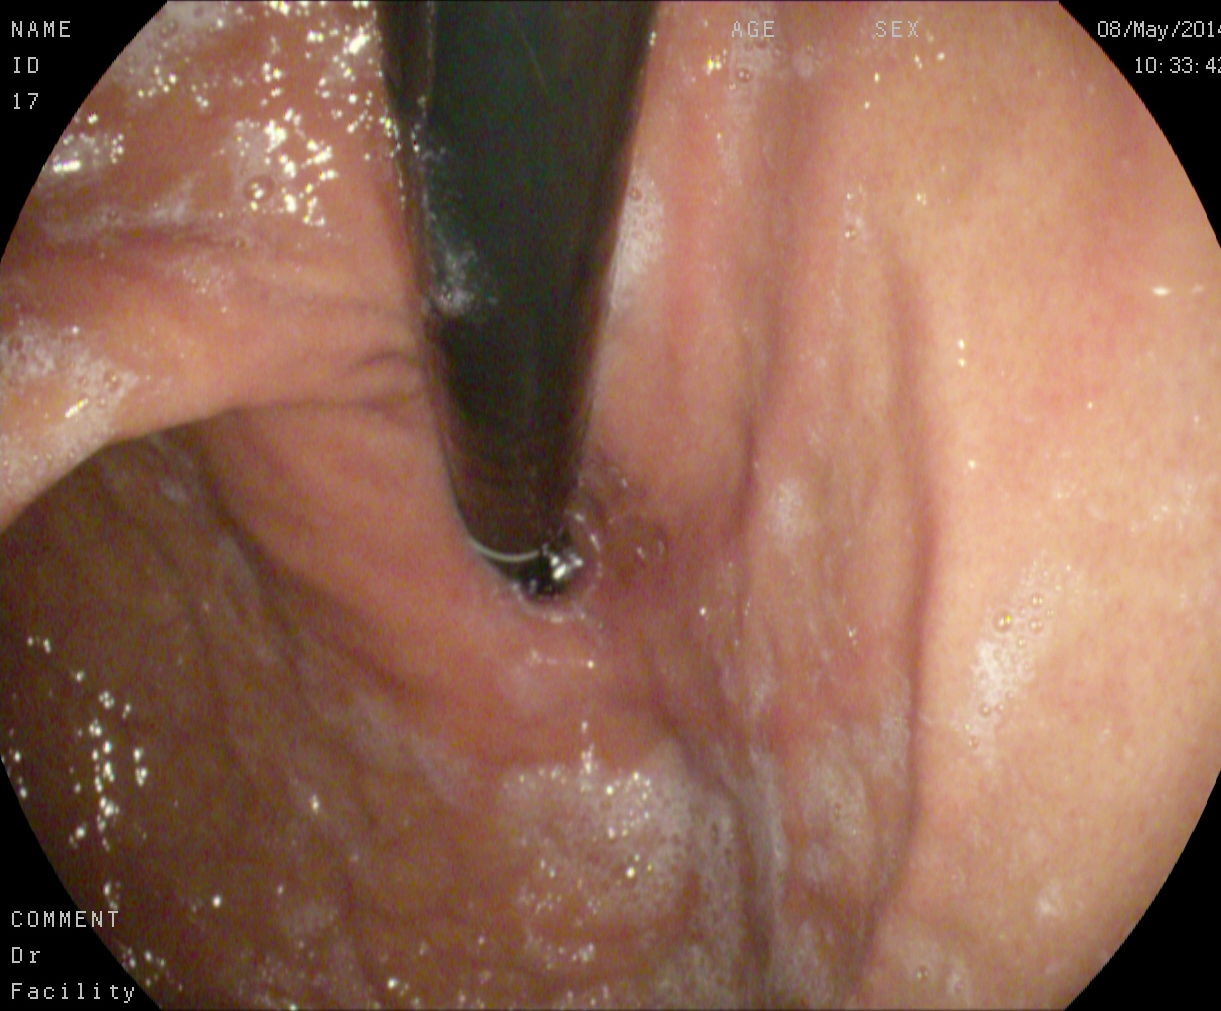modality: gastroscopy
category: anatomical landmark
finding: stomach in retroflexion